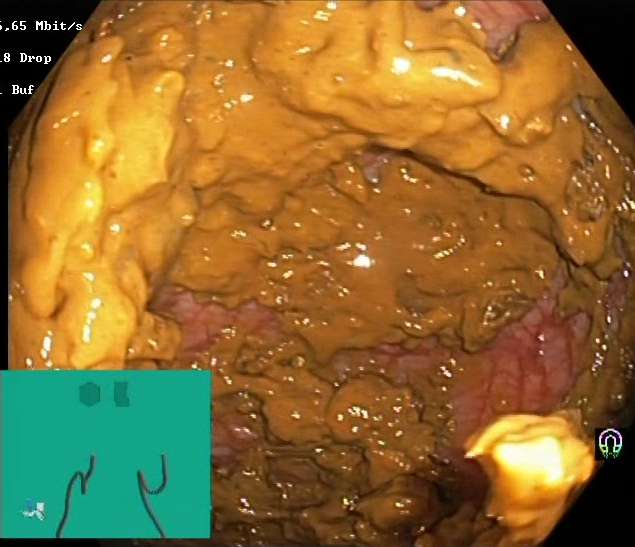PROCEDURE: Lower-GI endoscopy.
CATEGORY: Mucosal-view quality.
FINDINGS: BBPS score 0–1 (inadequate preparation).